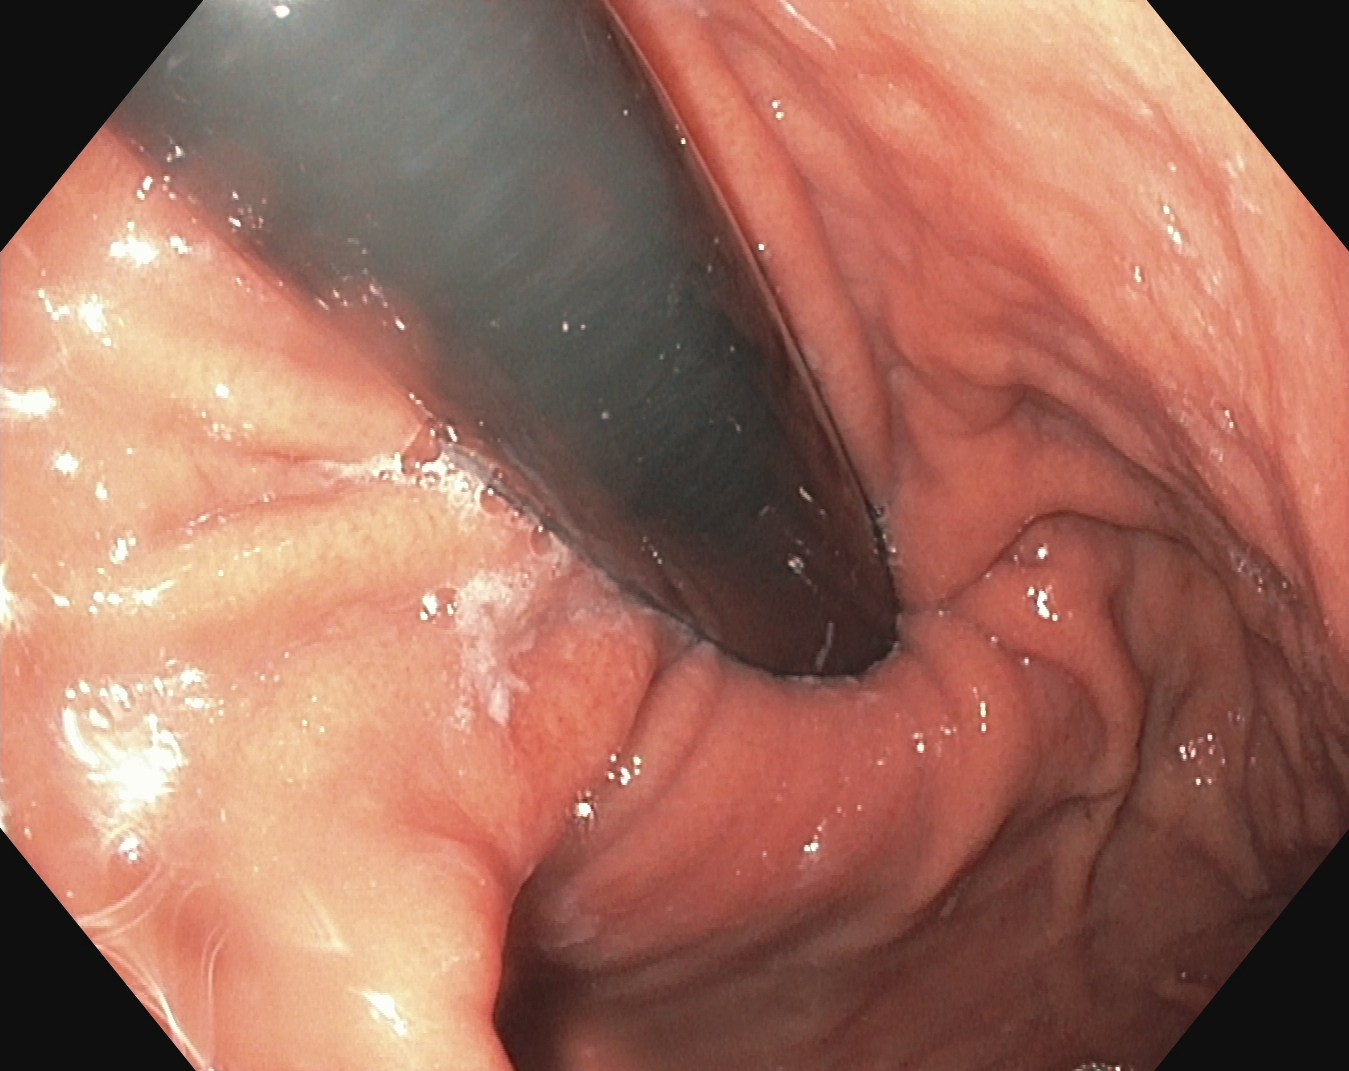modality: esophagogastroduodenoscopy; finding: stomach in retroflexion